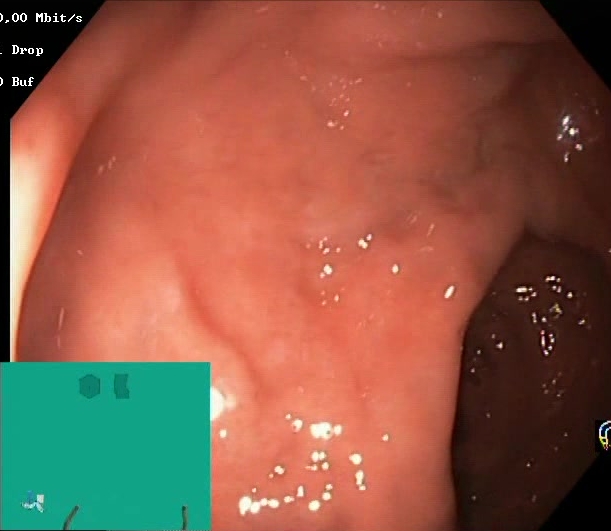modality: lower gastrointestinal endoscopy
finding: Boston Bowel Preparation Scale score 2–3 (adequate preparation)